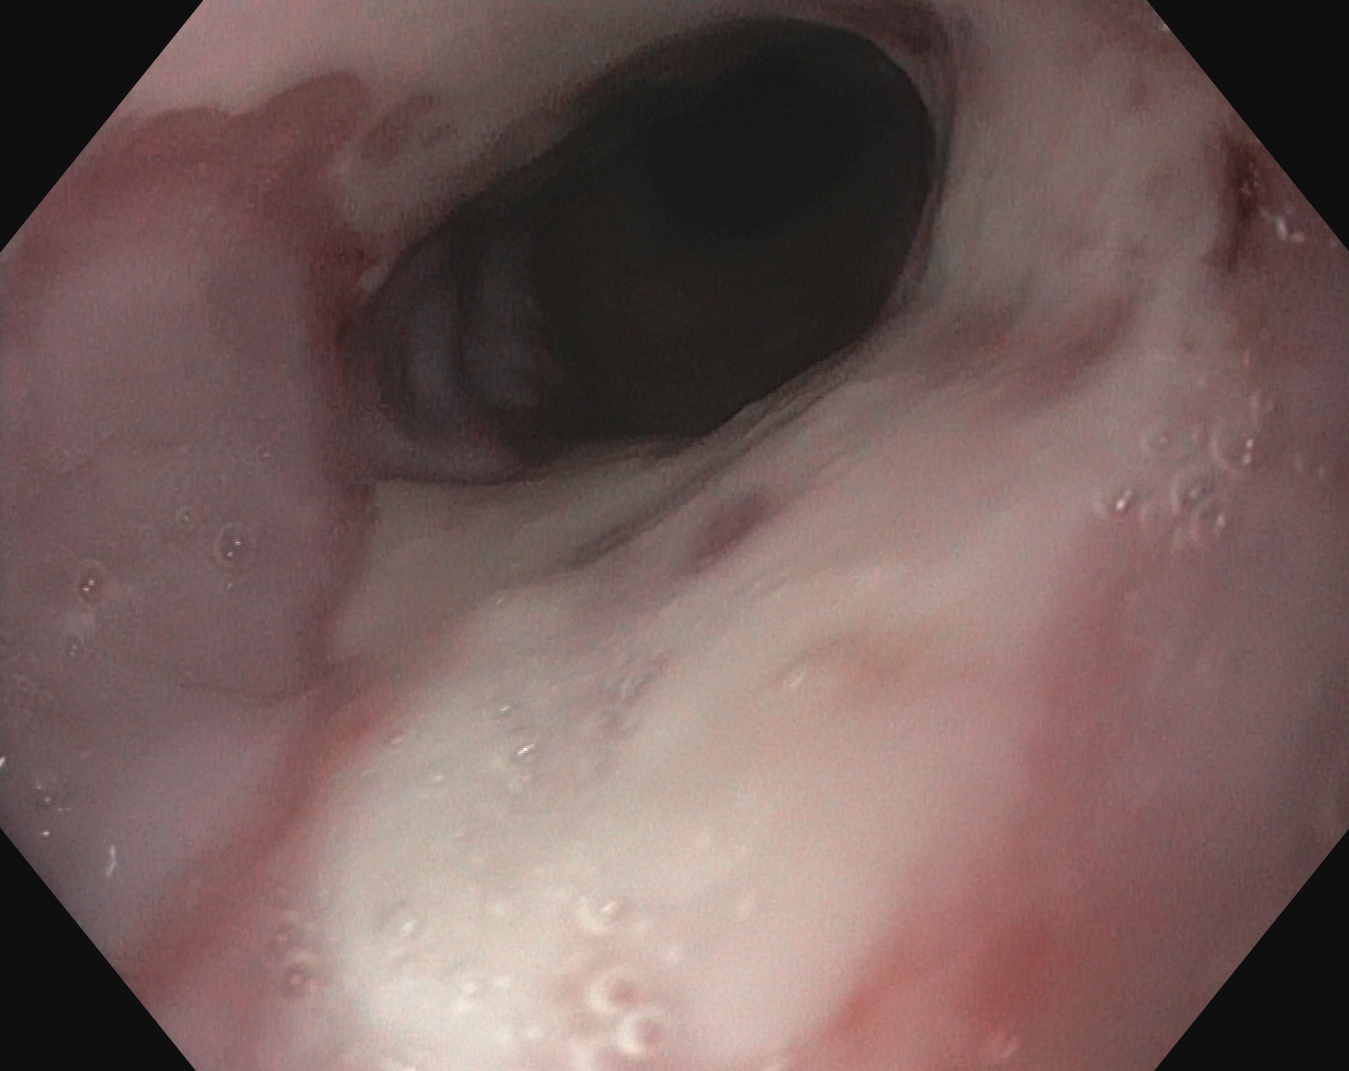{"modality": "gastroscopy", "tract": "upper GI tract", "finding": "reflux esophagitis, LA grade B\u2013D"}